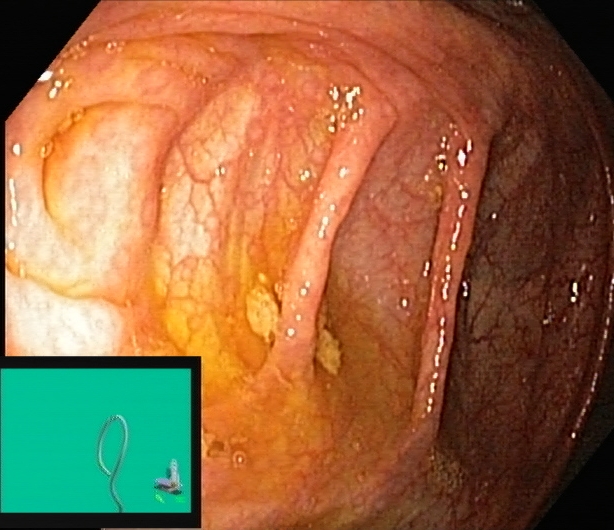modality: colonoscopy | tract: lower GI tract | category: anatomical landmark | finding: cecum